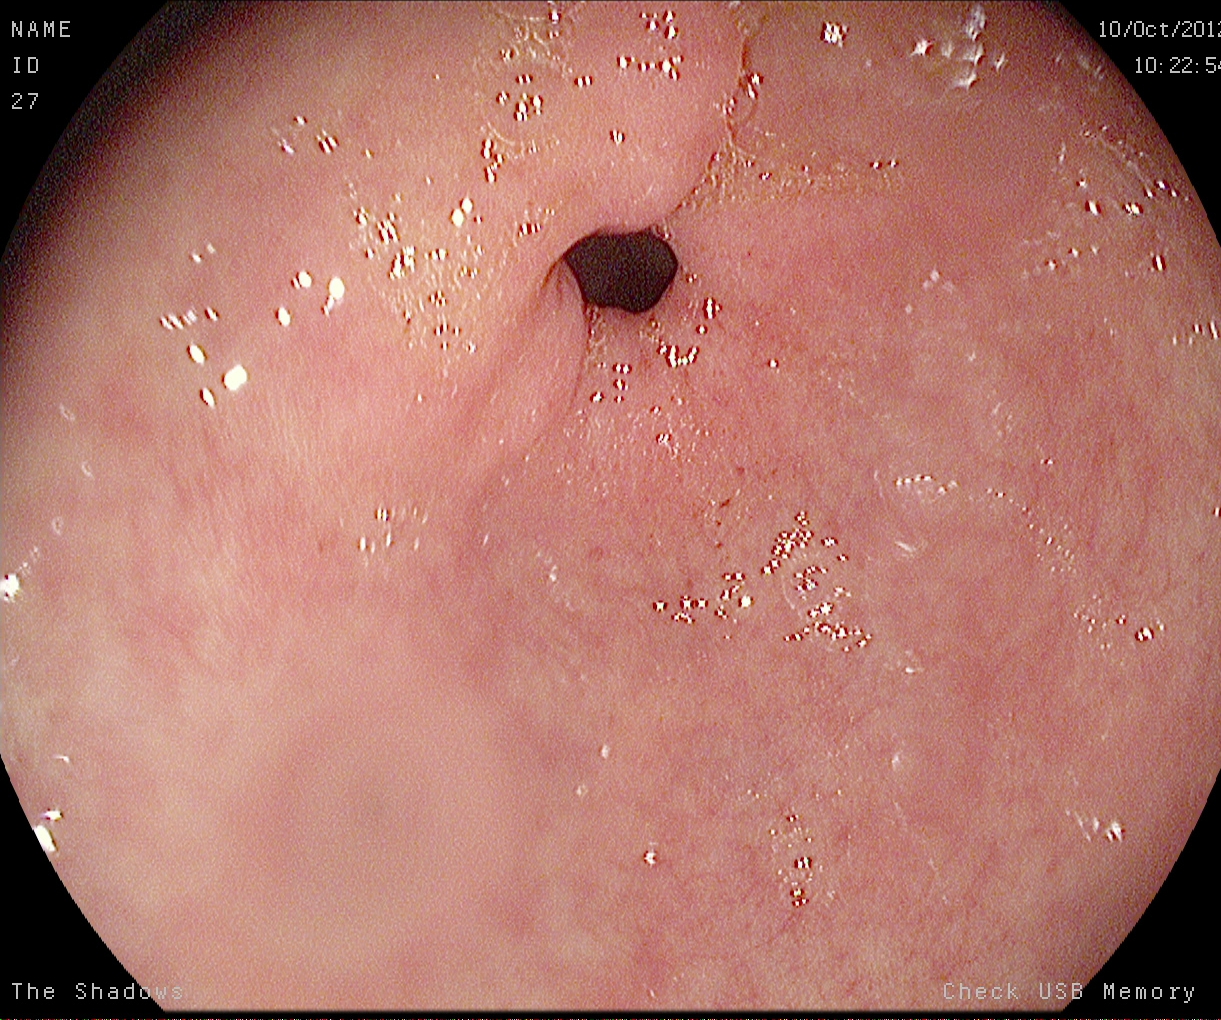modality: esophagogastroduodenoscopy | tract: upper GI tract | category: anatomical landmark | finding: pylorus